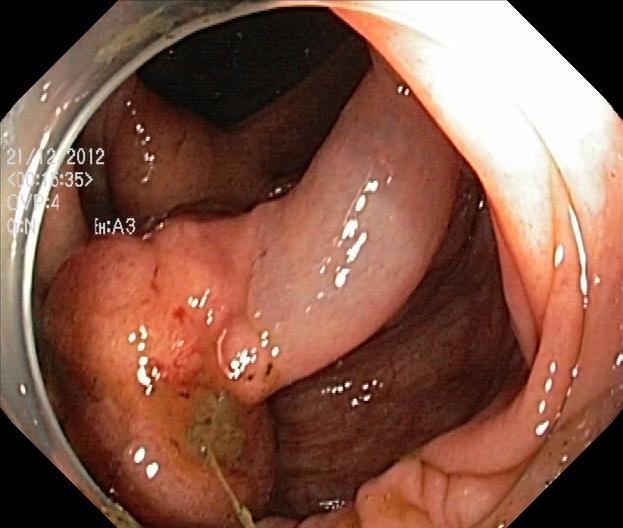Lower gastrointestinal endoscopy image showing colorectal polyp(s).